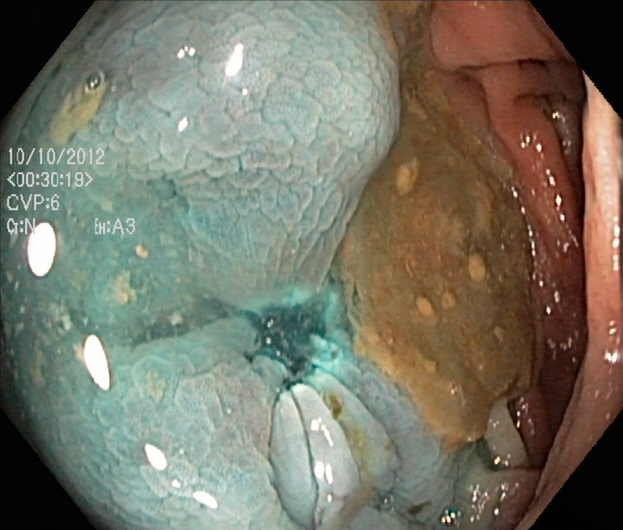This endoscopy frame of the lower GI tract shows dyed resection margins (post-polypectomy).